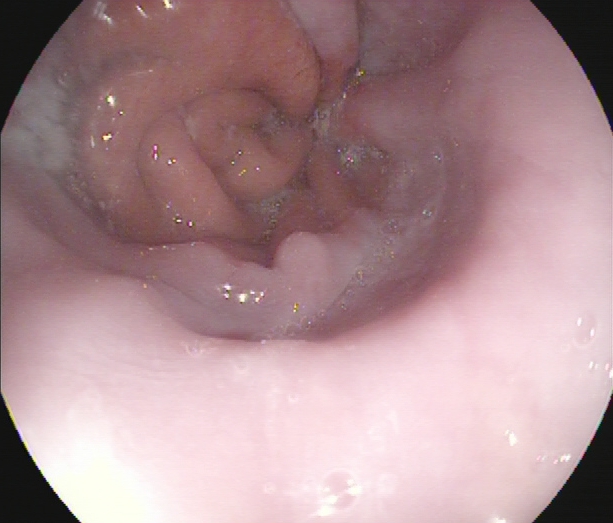This endoscopy frame shows Z-line (gastroesophageal junction).